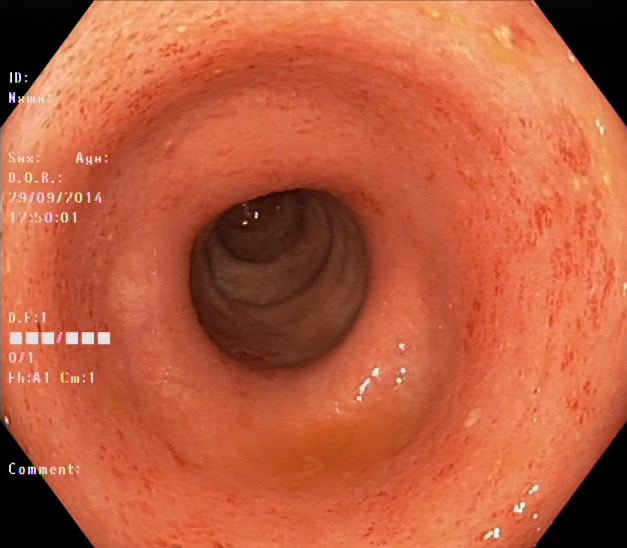{"modality": "lower-GI endoscopy", "tract": "lower GI tract", "finding": "ulcerative colitis, Mayo endoscopic subscore 1"}